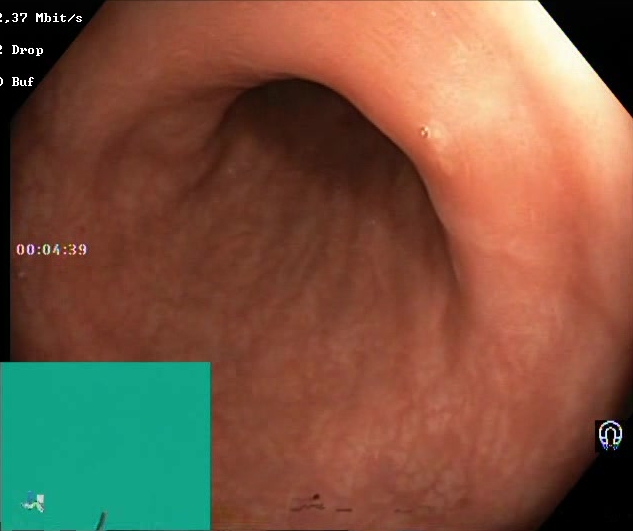This endoscopy frame of the lower GI tract shows BBPS score 2–3 (adequate preparation).